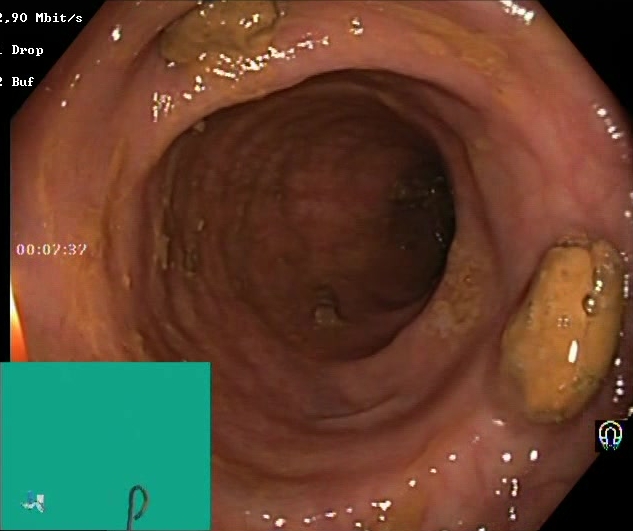modality: colonoscopy
tract: lower GI tract
finding: impacted stool